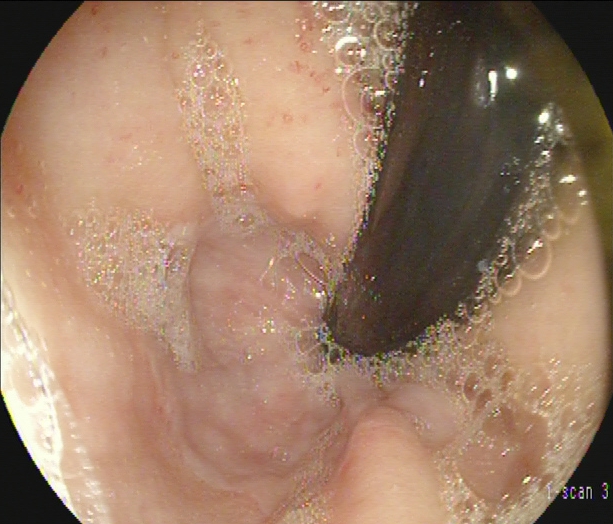stomach in retroflexion.